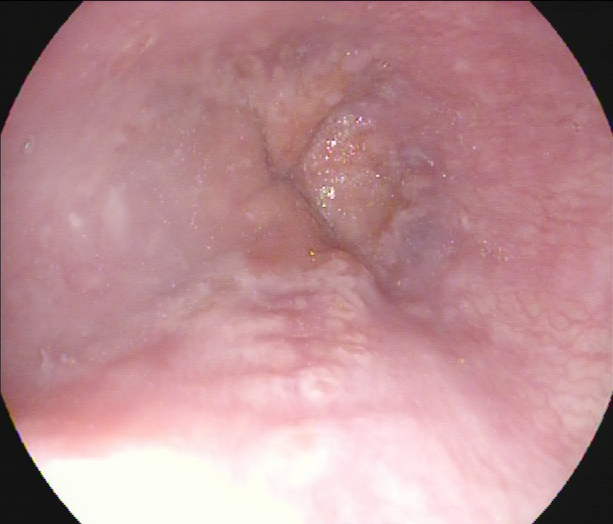PROCEDURE: EGD.
CATEGORY: Anatomical landmark.
FINDINGS: Z-line (gastroesophageal junction).